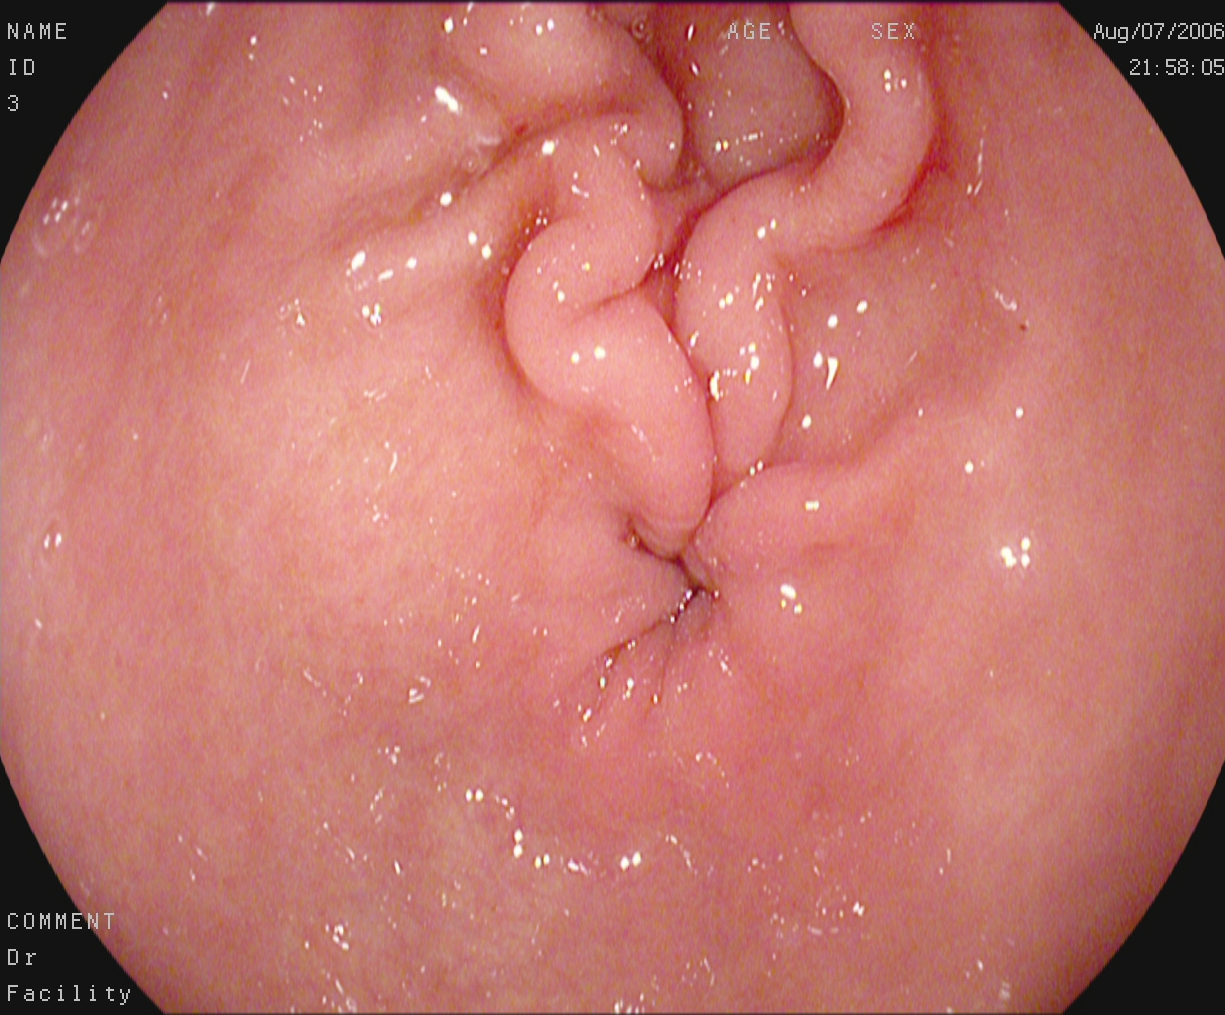GI endoscopy image of the upper GI tract showing pylorus.